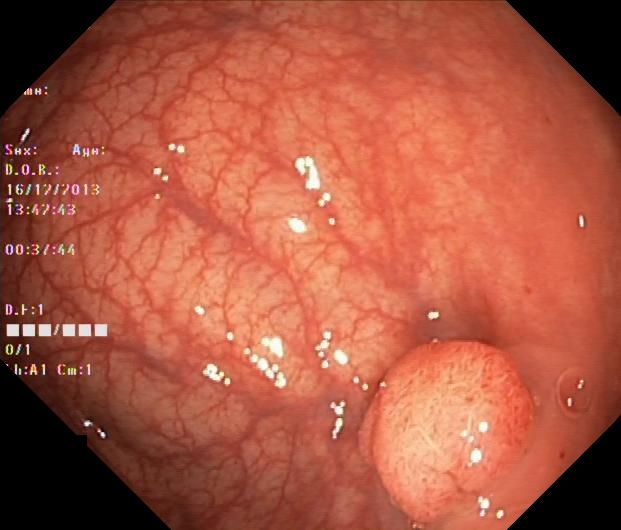modality: lower-GI endoscopy; tract: lower GI tract; category: pathological finding; finding: colorectal polyp(s)